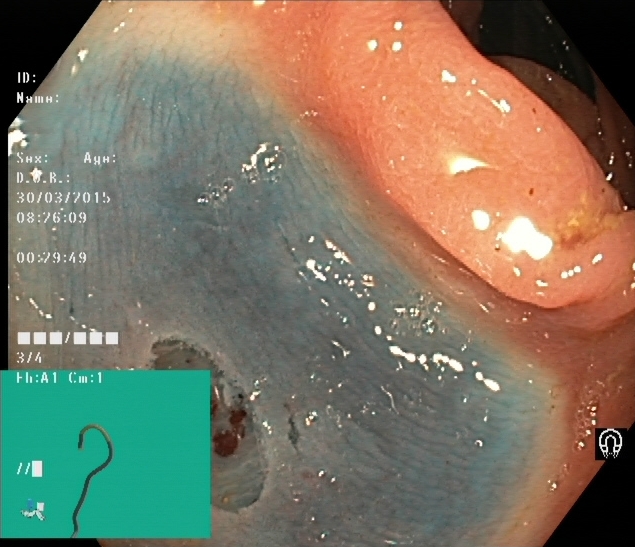This endoscopic image shows dyed resection margins (post-polypectomy).